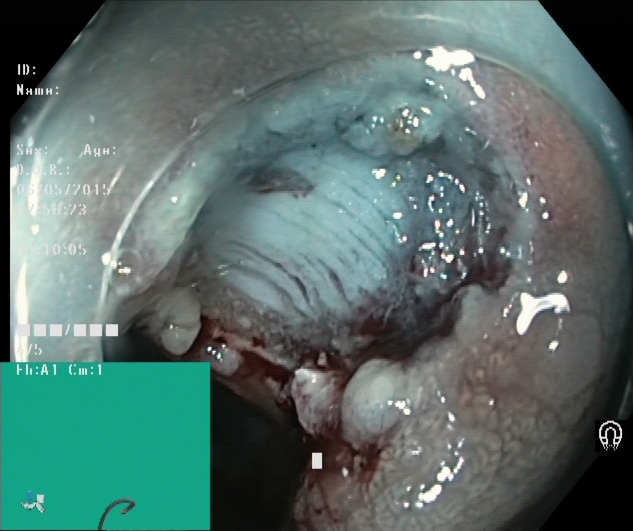dyed resection margins (post-polypectomy).